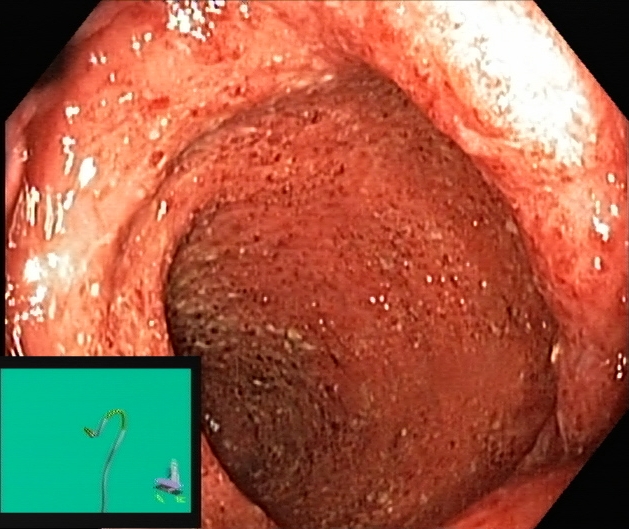Ulcerative colitis, Mayo endoscopic subscore 1.